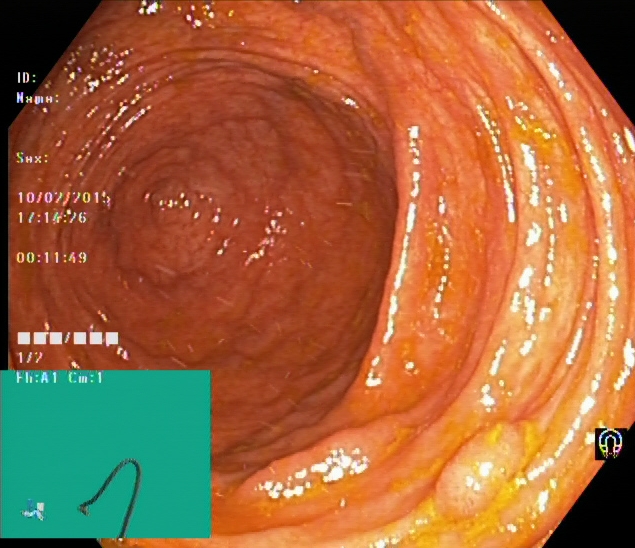modality: lower-GI endoscopy | category: anatomical landmark | finding: cecum